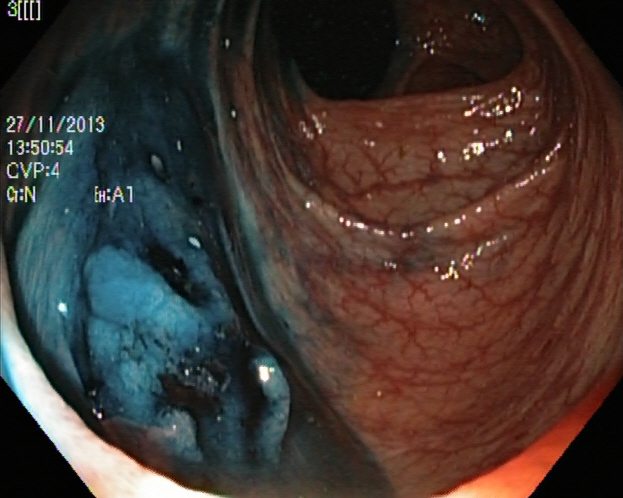Dyed and lifted polyp (pre-resection).